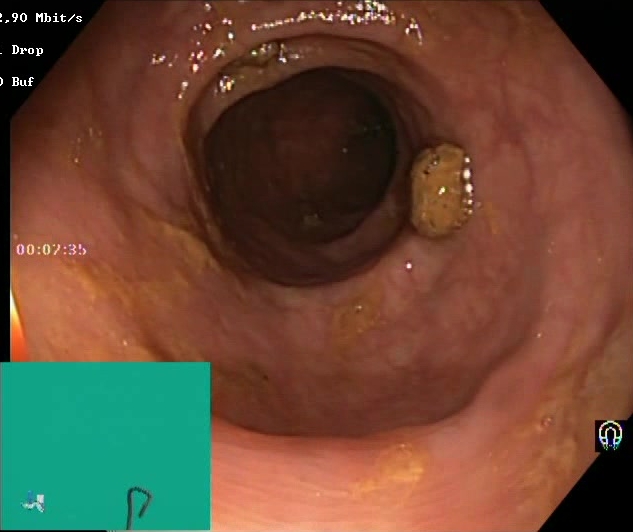PROCEDURE: Lower-GI endoscopy.
CATEGORY: Mucosal-view quality.
FINDINGS: BBPS score 2–3 (adequate preparation).